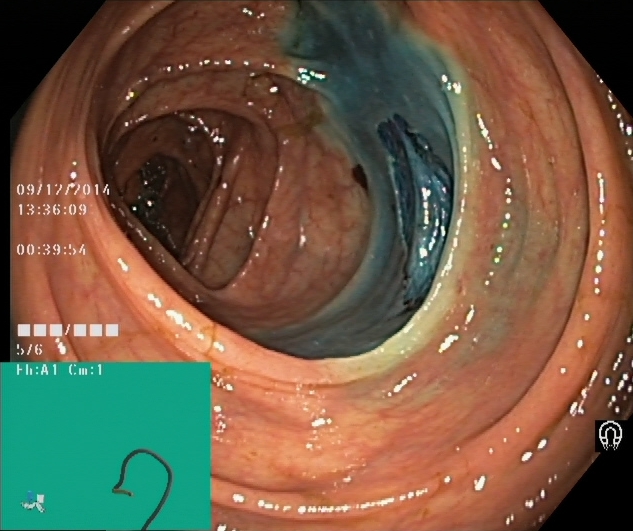dyed resection margins (post-polypectomy).